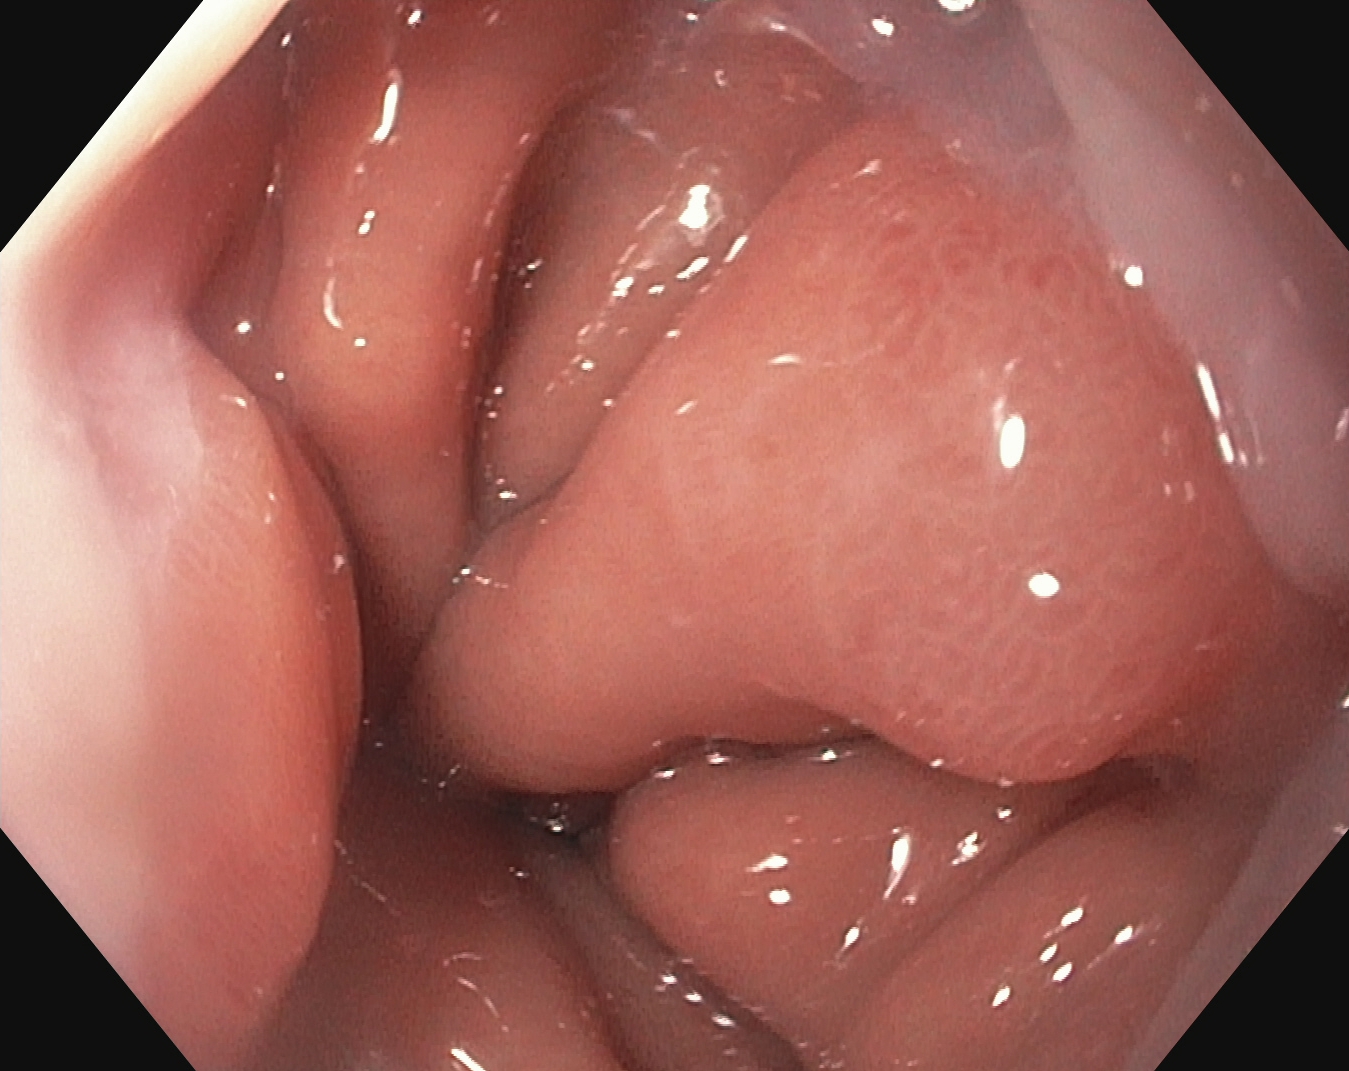This endoscopic image of the upper GI tract shows Z-line (gastroesophageal junction).